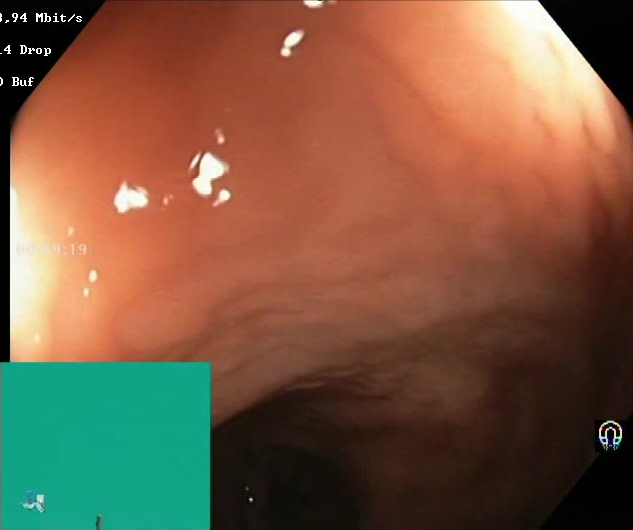This endoscopic image shows BBPS score 2–3 (adequate preparation).